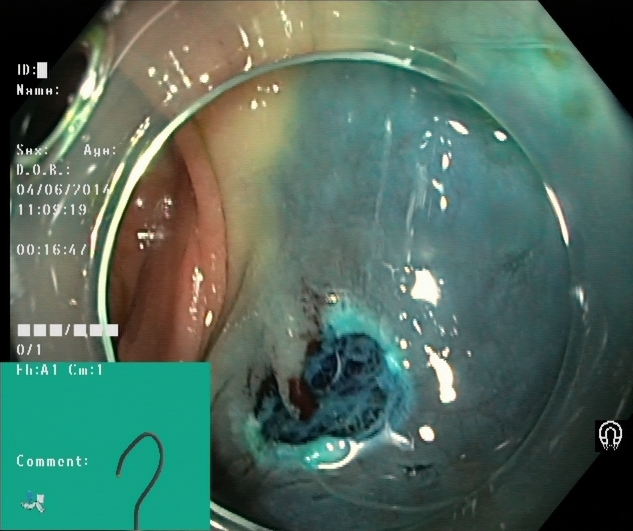PROCEDURE: Lower-GI endoscopy.
CATEGORY: Therapeutic intervention.
FINDINGS: Dyed resection margins (post-polypectomy).